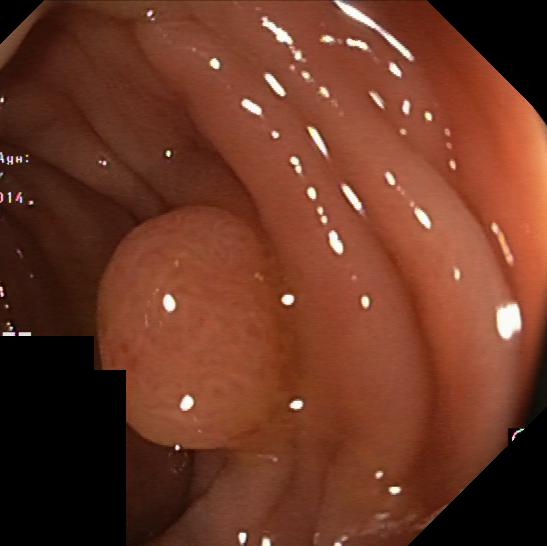This endoscopy frame shows colorectal polyp(s).